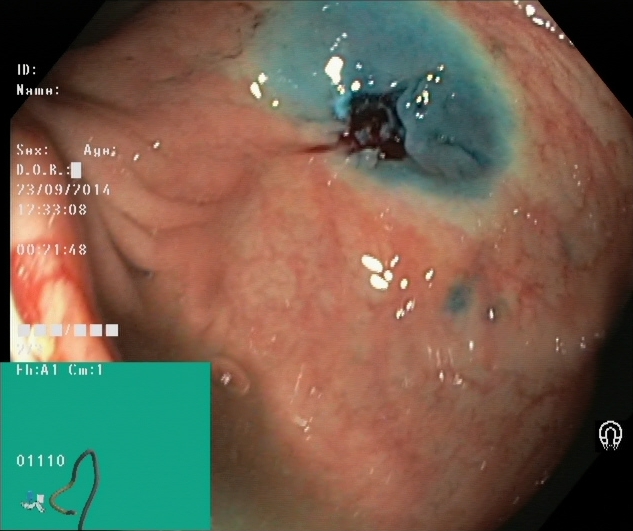Colonoscopy — dyed resection margins (post-polypectomy).